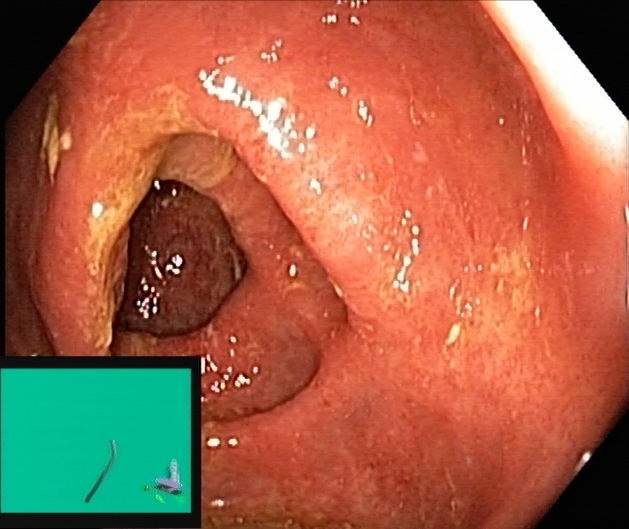Ulcerative colitis, Mayo endoscopic subscore 2.